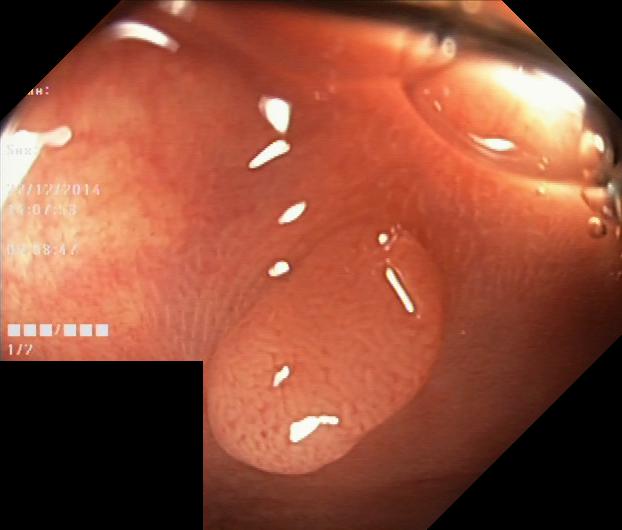Colorectal polyp(s).